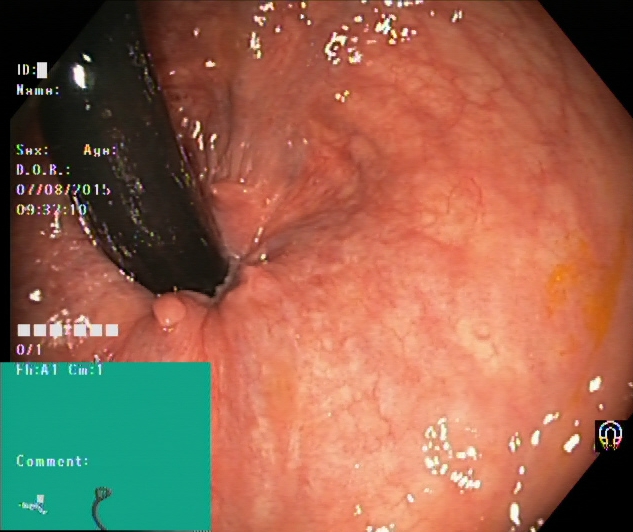PROCEDURE: Lower-GI endoscopy.
CATEGORY: Anatomical landmark.
FINDINGS: Rectum in retroflexion.